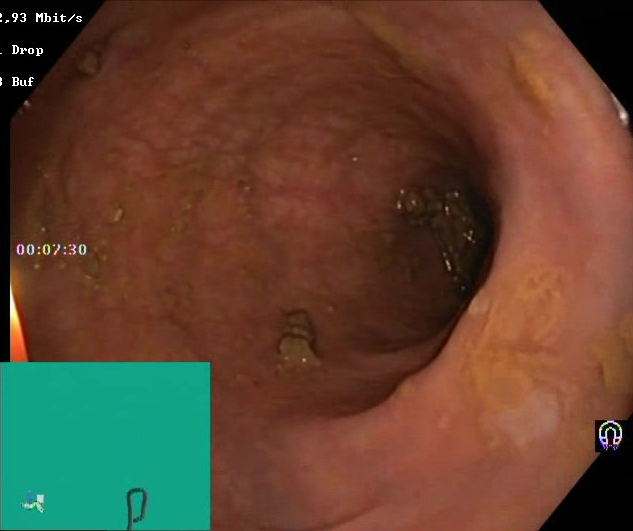{"modality": "lower gastrointestinal endoscopy", "tract": "lower GI tract", "category": "mucosal-view quality", "finding": "BBPS score 0\u20131 (inadequate preparation)"}